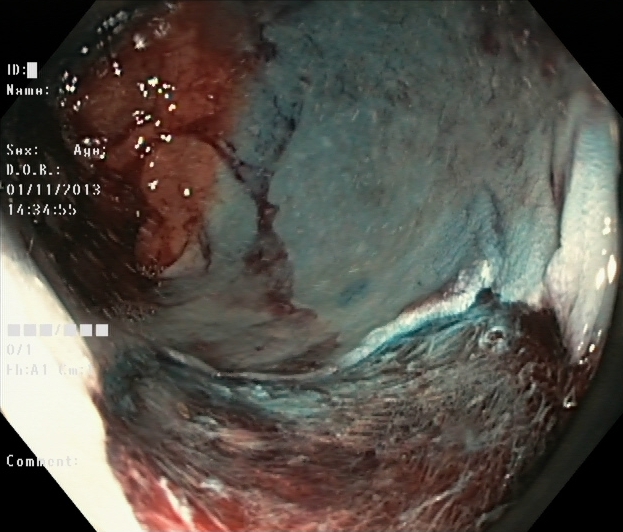This endoscopic image shows dyed resection margins (post-polypectomy).